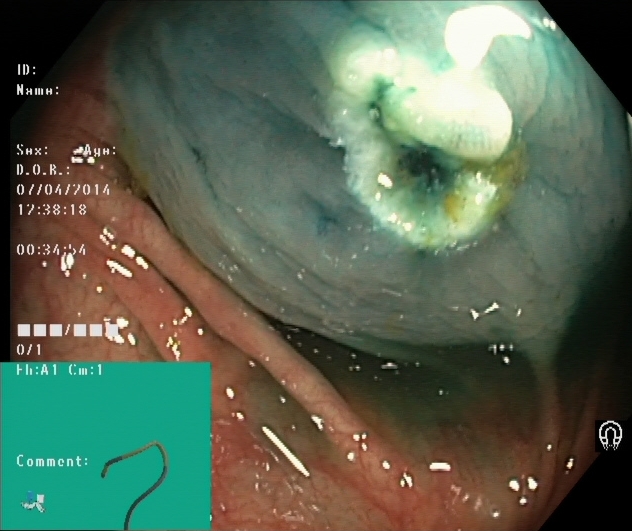Colonoscopy. Therapeutic intervention. Finding: dyed resection margins (post-polypectomy).